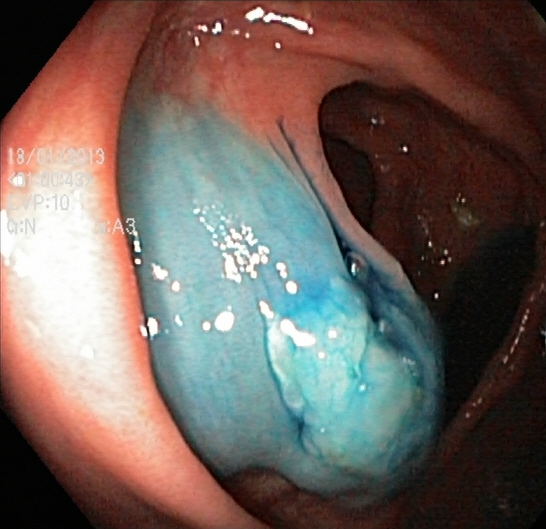This endoscopy frame of the lower GI tract shows dyed and lifted polyp (pre-resection).